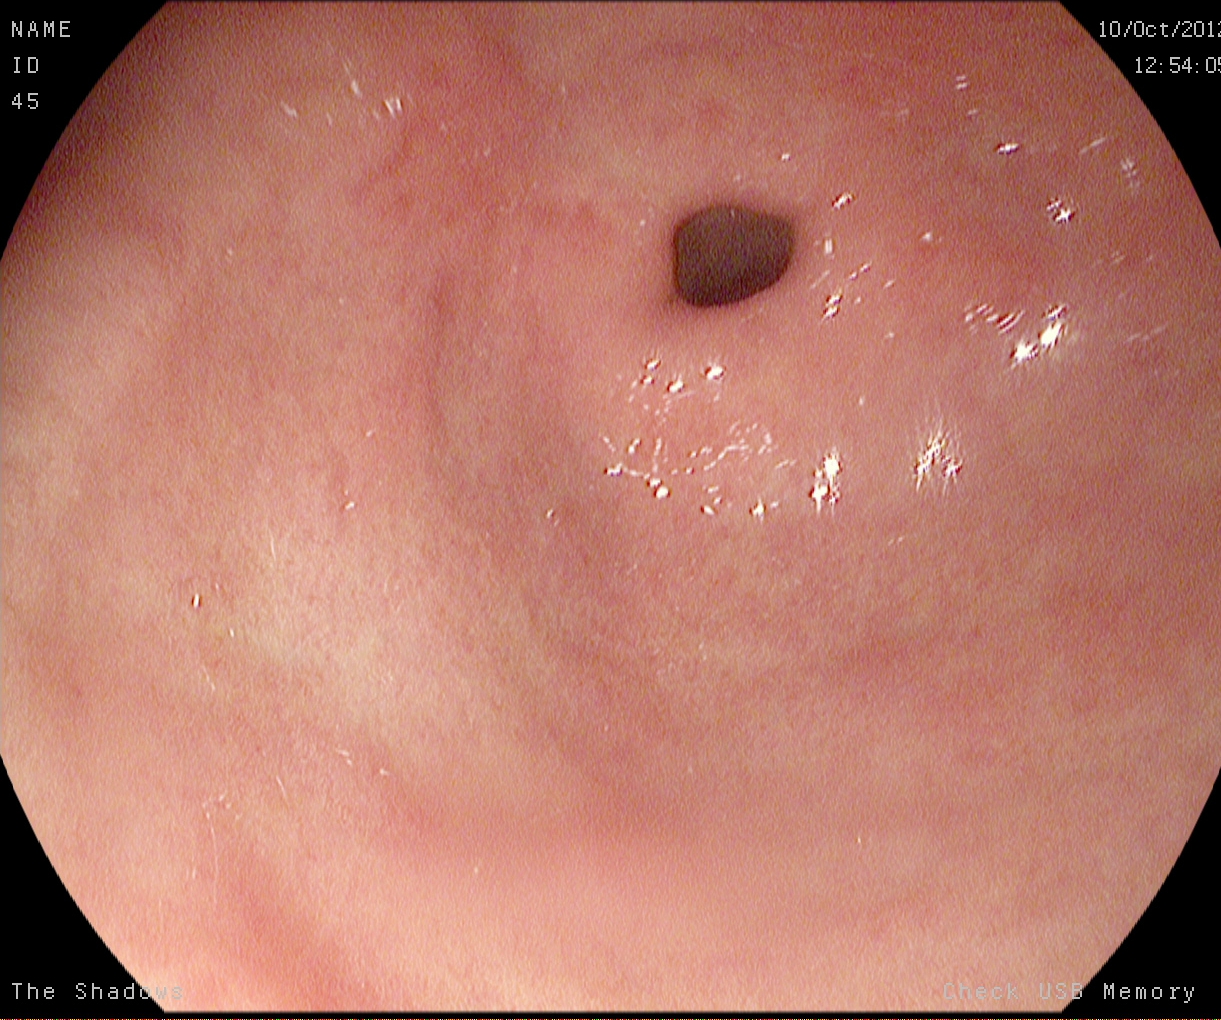modality: upper-GI endoscopy; finding: pylorus